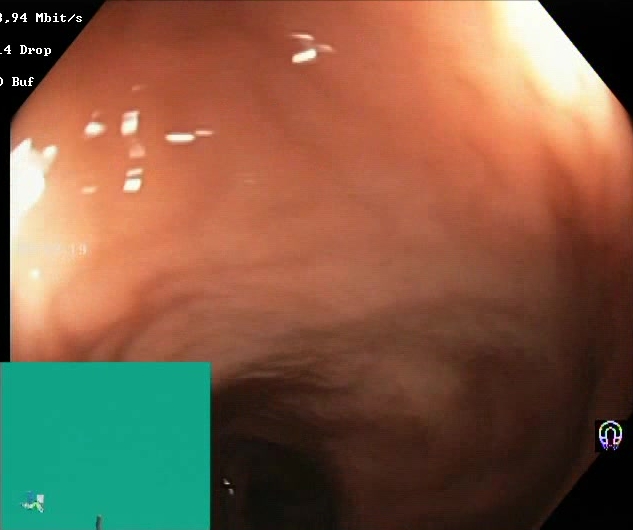Endoscopy image of the lower GI tract showing Boston Bowel Preparation Scale score 2–3 (adequate preparation).